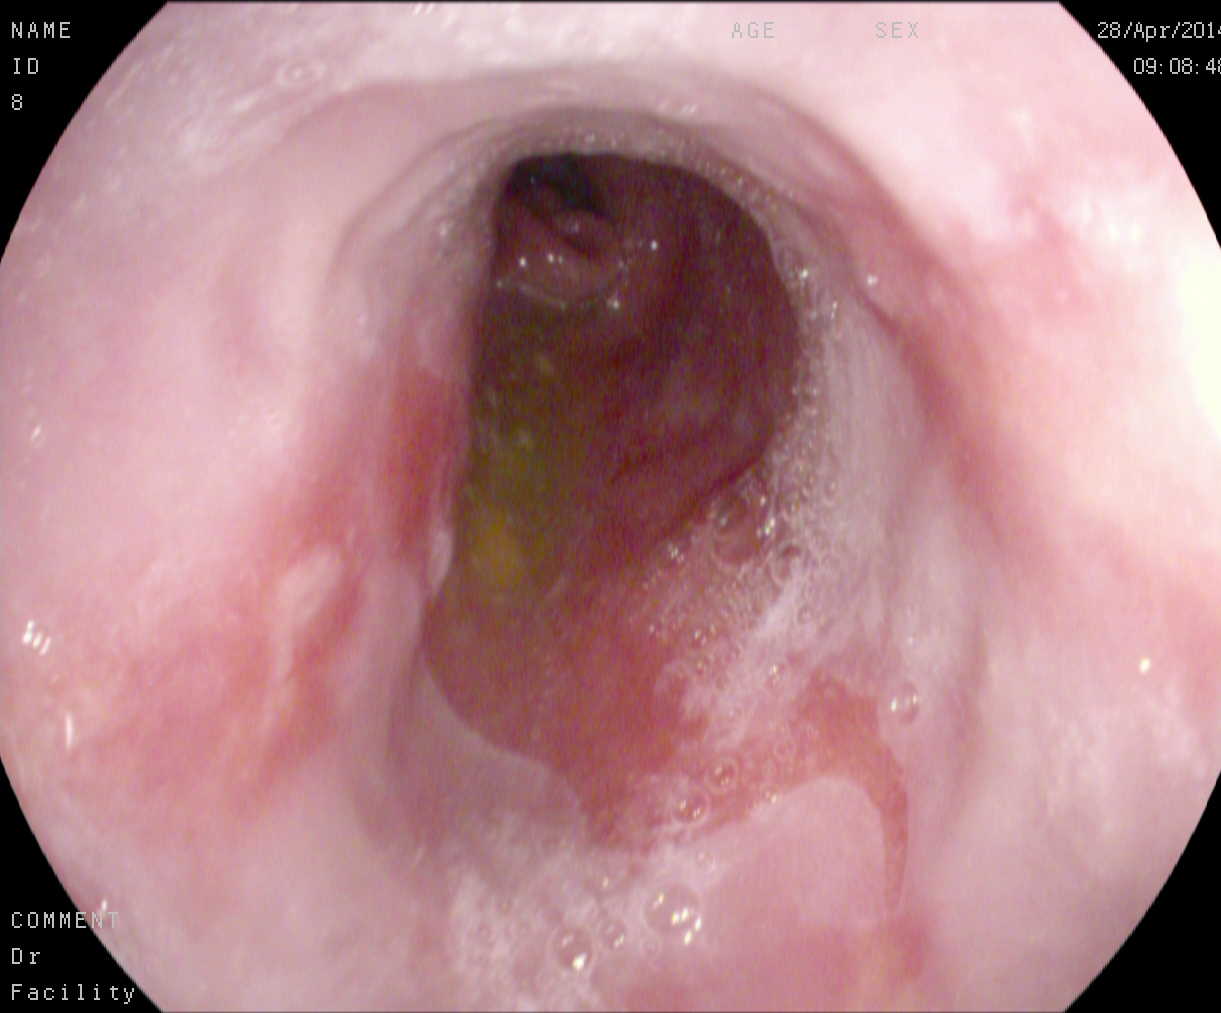Gastroscopy. Finding: Barrett's esophagus.